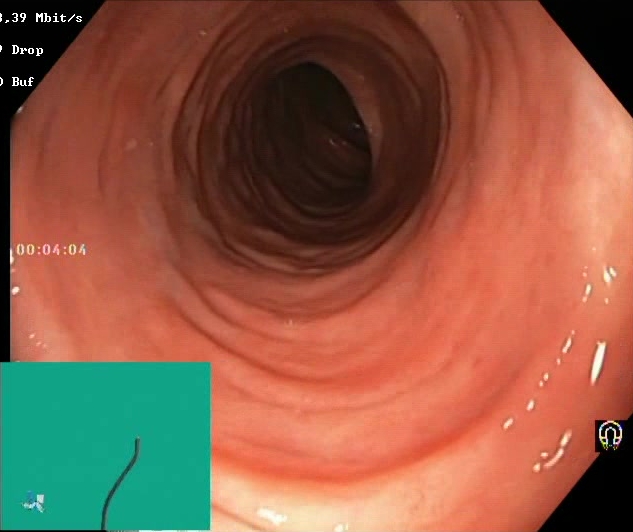Endoscopic frame showing BBPS score 2–3 (adequate preparation).